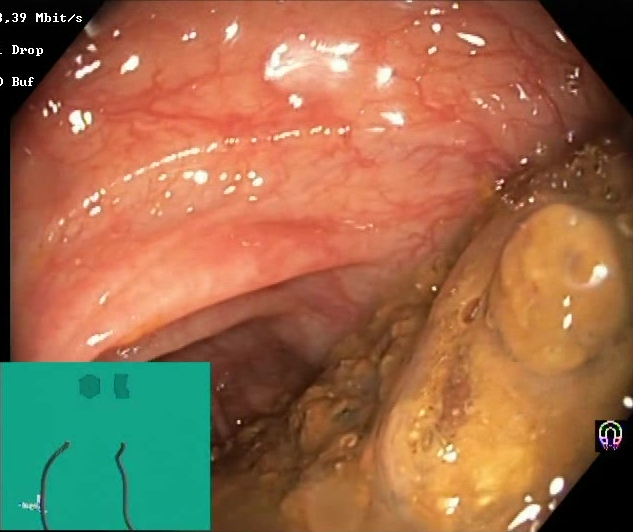Boston Bowel Preparation Scale score 0–1 (inadequate preparation).